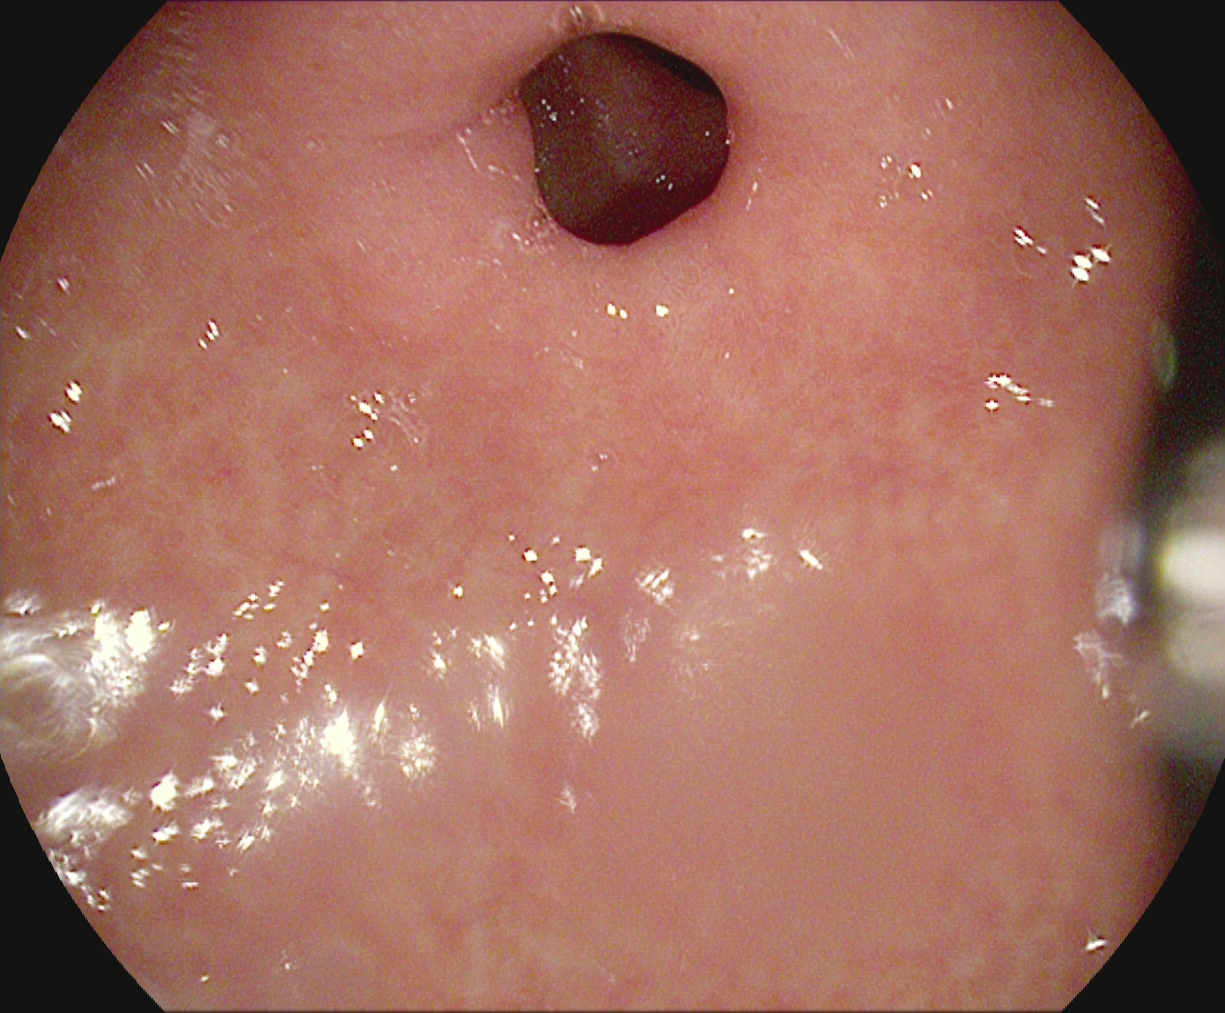{"modality": "esophagogastroduodenoscopy", "tract": "upper GI tract", "category": "anatomical landmark", "finding": "pylorus"}